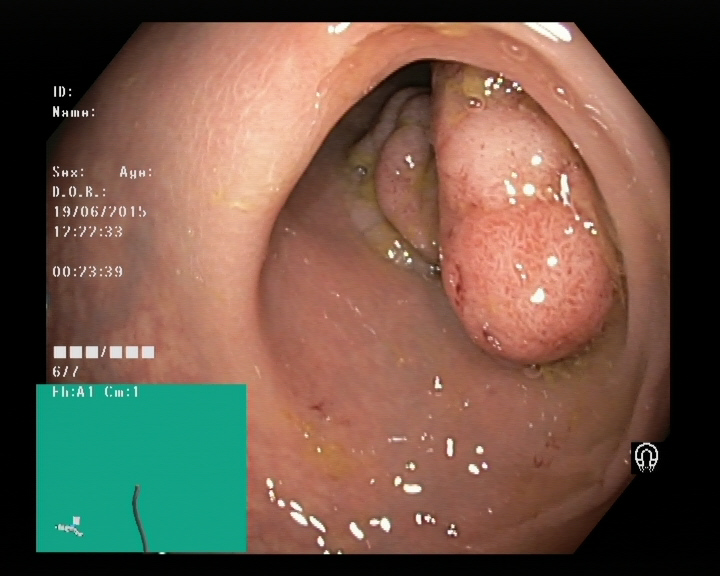Colorectal polyp(s).